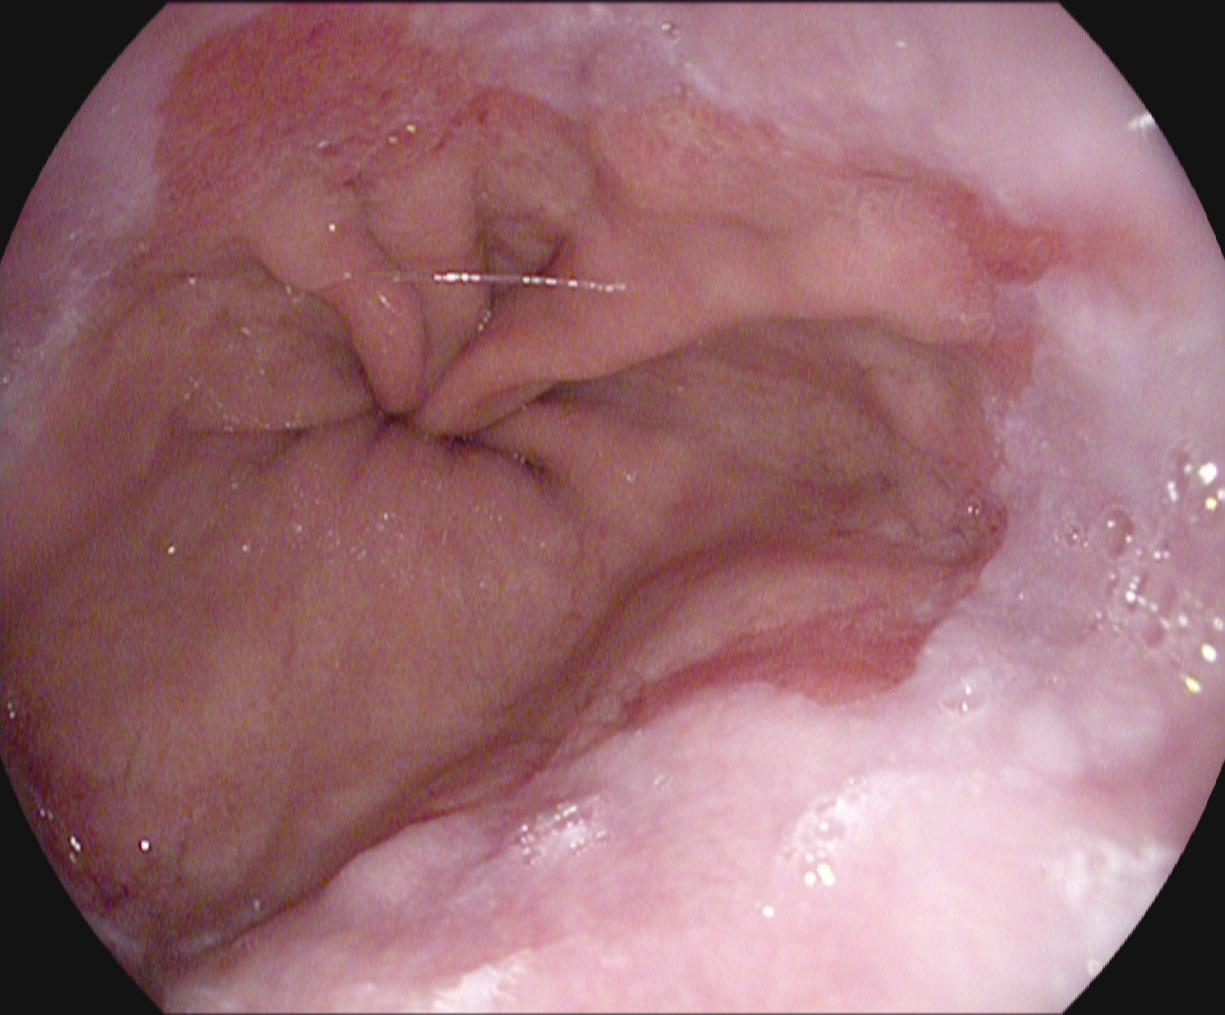This endoscopy frame shows reflux esophagitis, Los Angeles grade A.